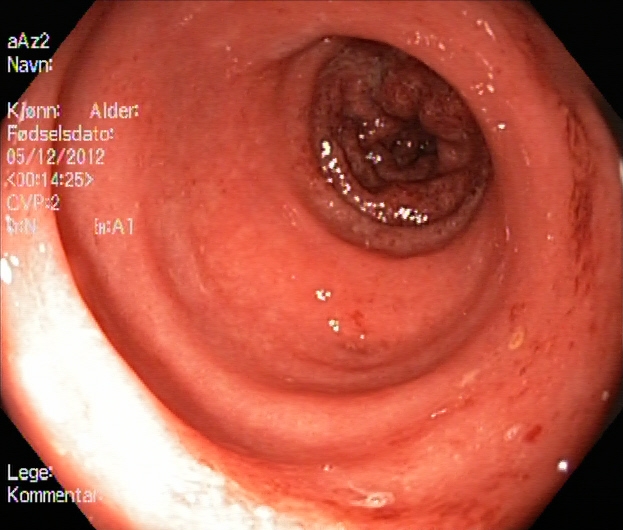modality: lower-GI endoscopy
tract: lower GI tract
category: pathological finding
finding: ulcerative colitis, Mayo endoscopic subscore 2